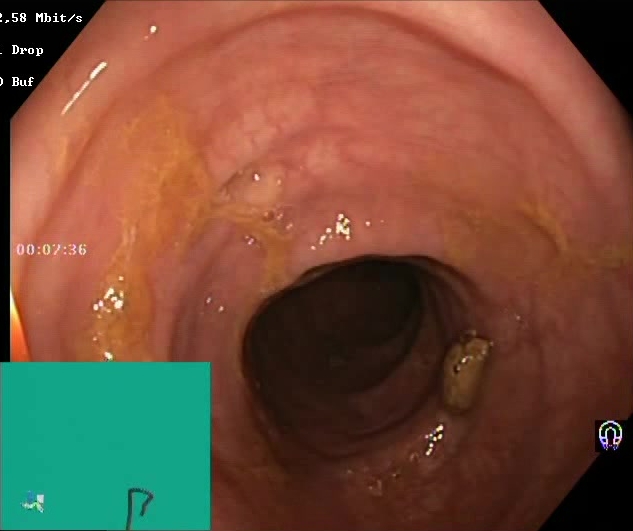Lower gastrointestinal endoscopy image showing Boston Bowel Preparation Scale score 2–3 (adequate preparation).